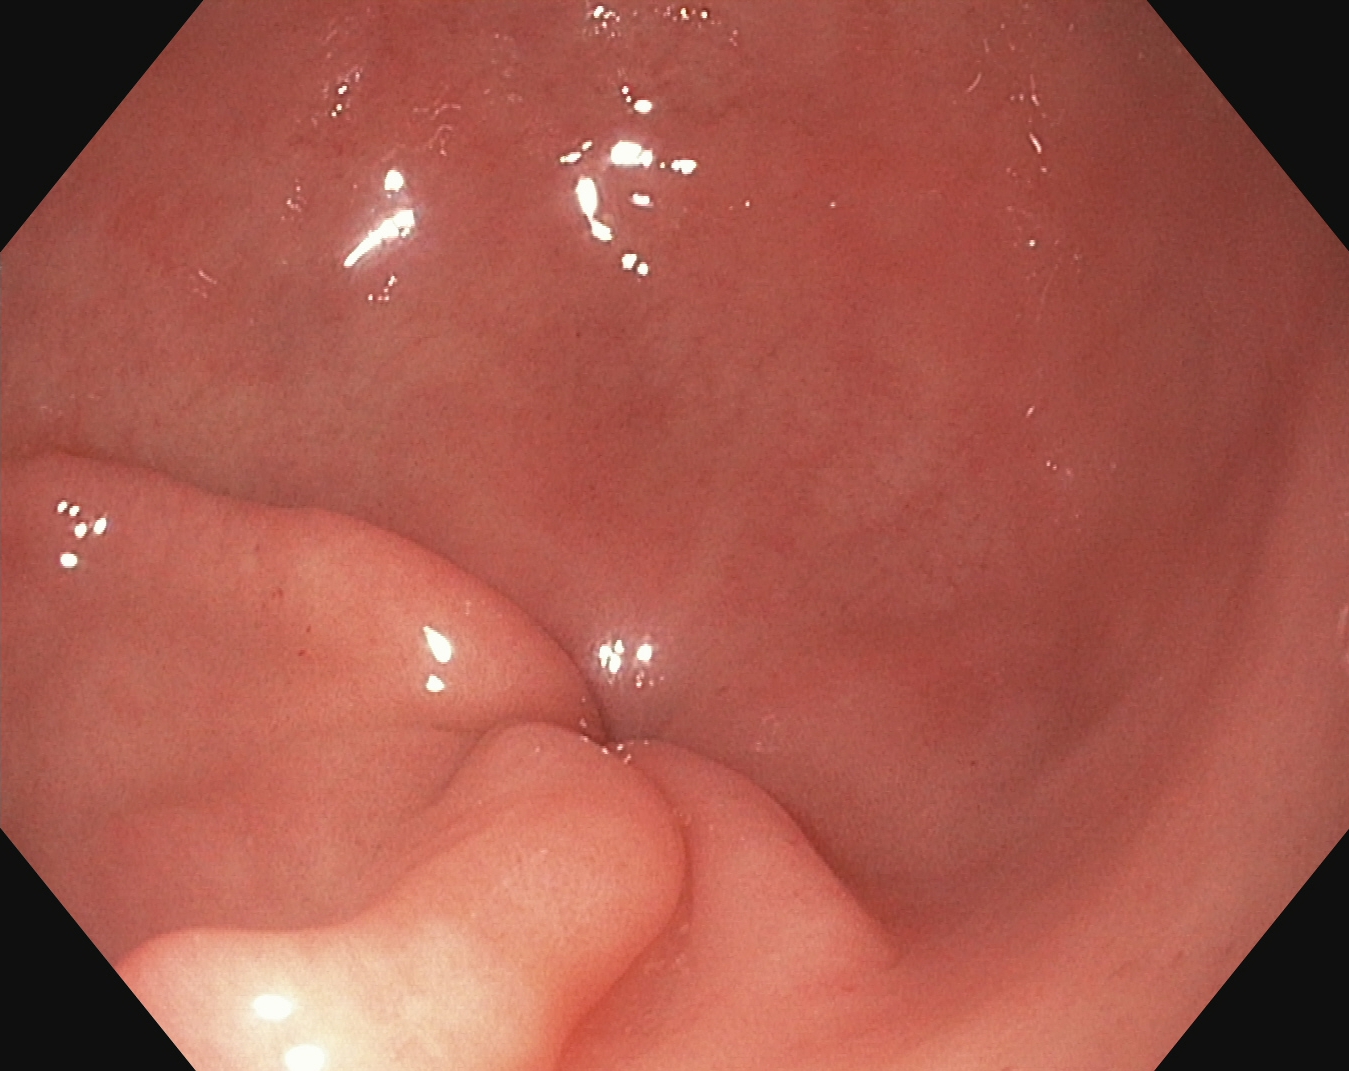{"modality": "EGD", "finding": "pylorus"}